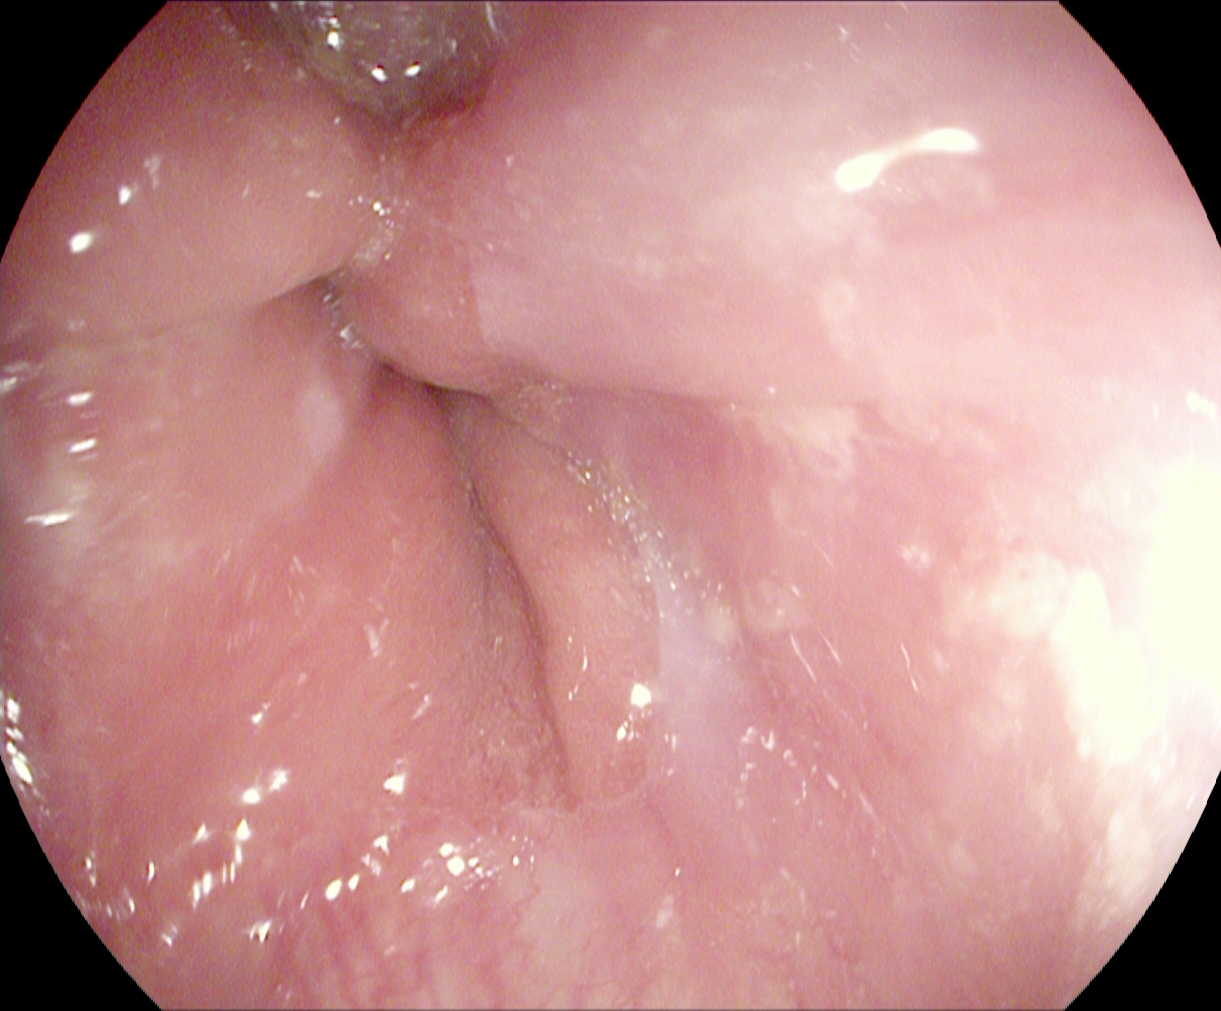{"modality": "gastroscopy", "tract": "upper GI tract", "category": "anatomical landmark", "finding": "Z-line (gastroesophageal junction)"}